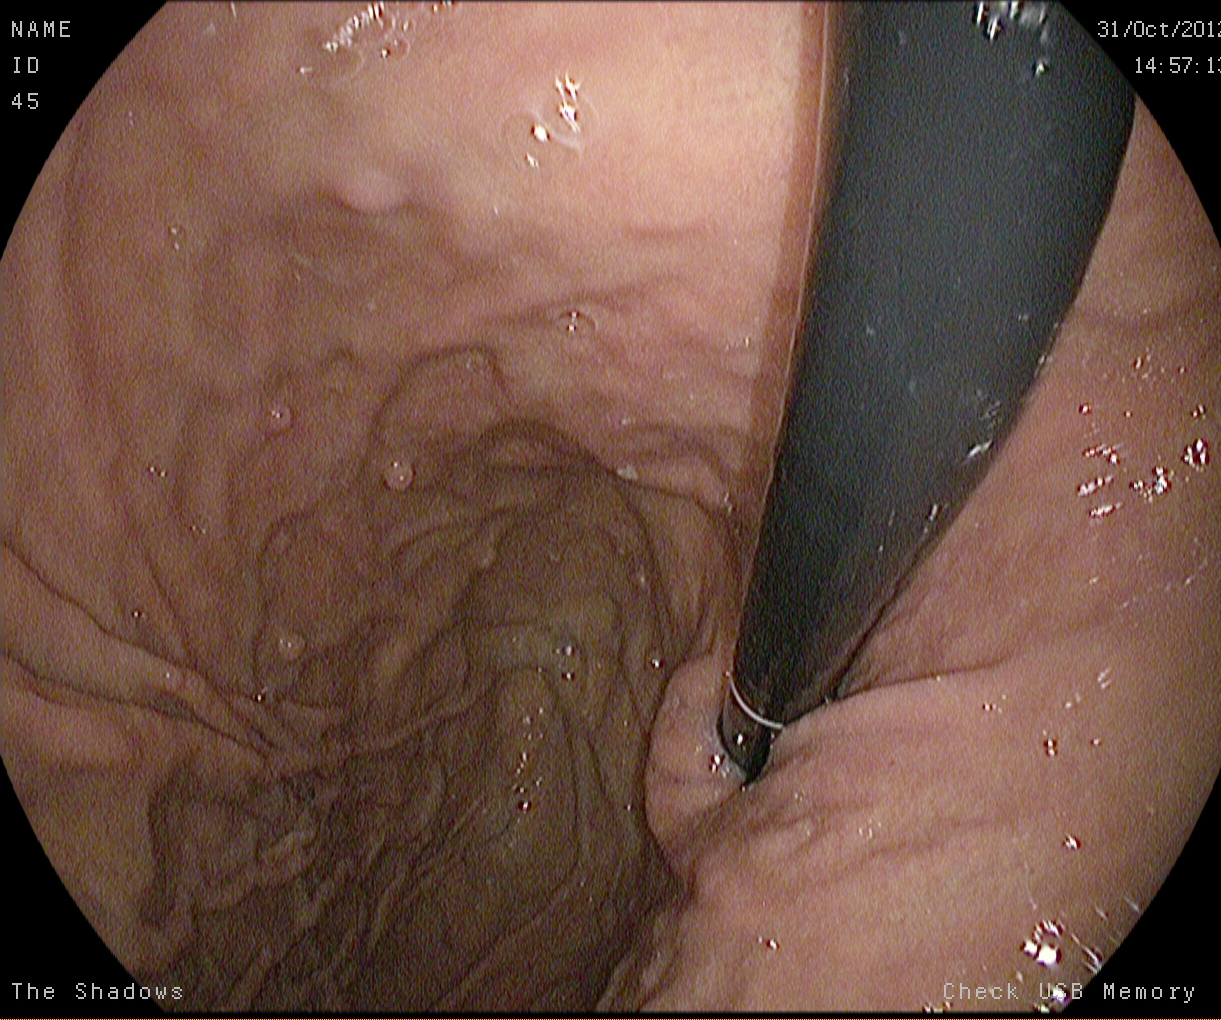{"modality": "gastroscopy", "tract": "upper GI tract", "finding": "stomach in retroflexion"}